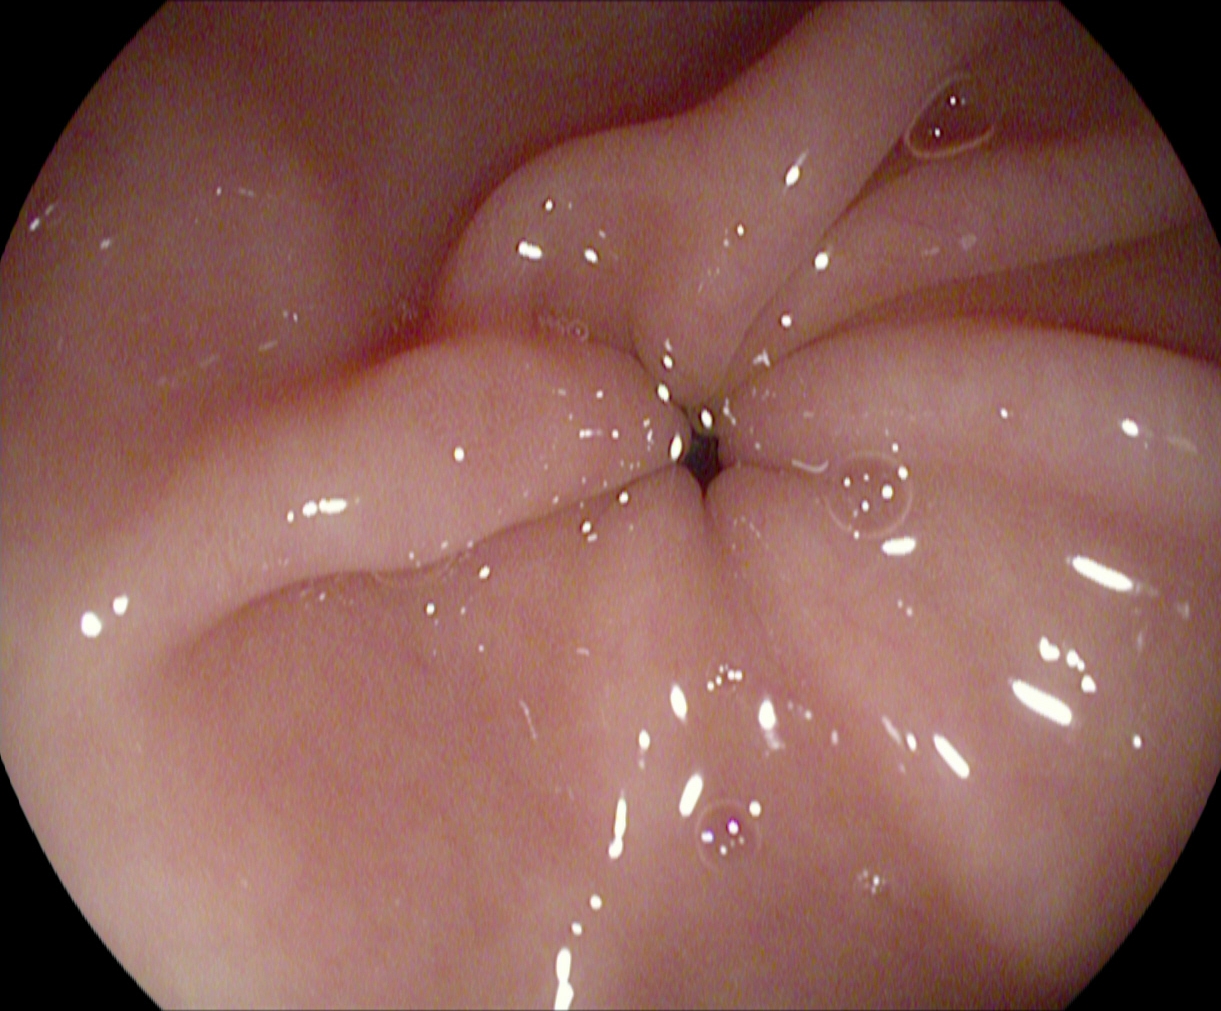pylorus.